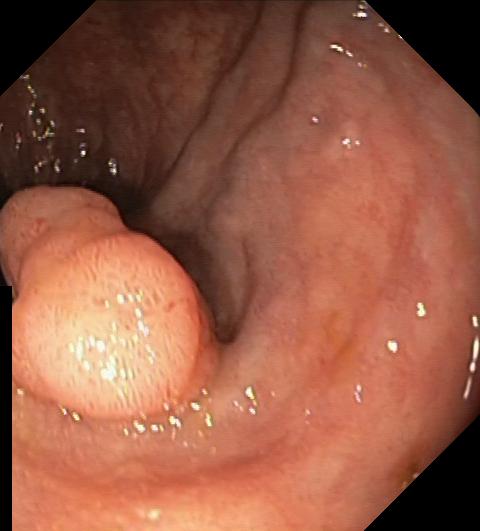colorectal polyp(s).